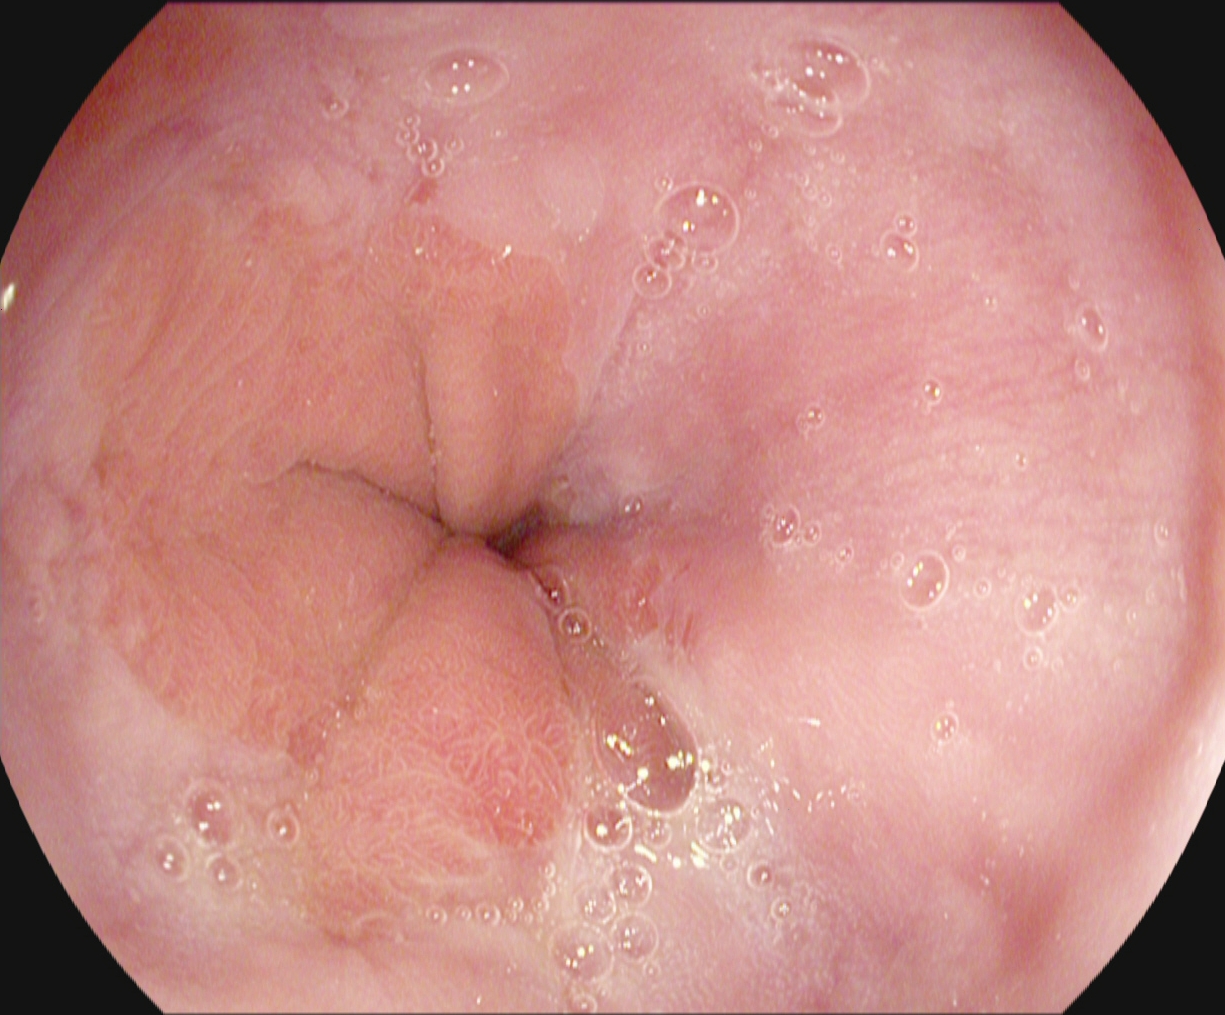GI endoscopy image of the upper GI tract showing Z-line (gastroesophageal junction).